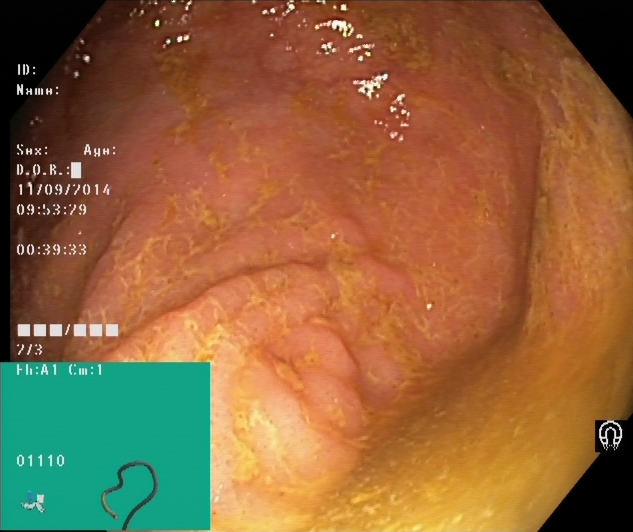This endoscopy frame of the lower GI tract shows cecum.